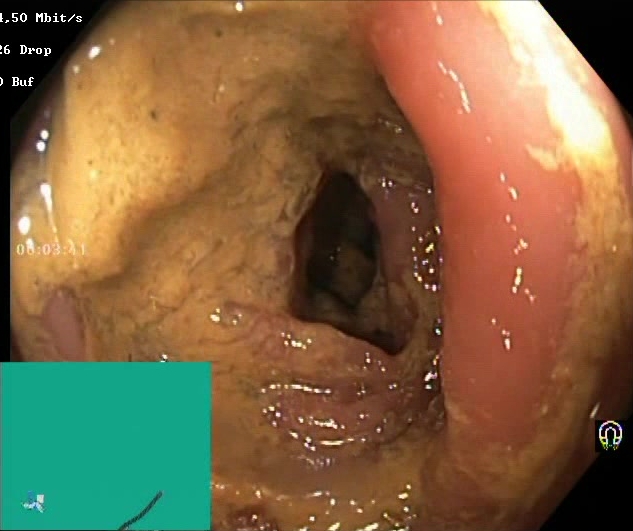Colonoscopy. Tract: lower GI tract. Finding: Boston Bowel Preparation Scale score 0–1 (inadequate preparation).